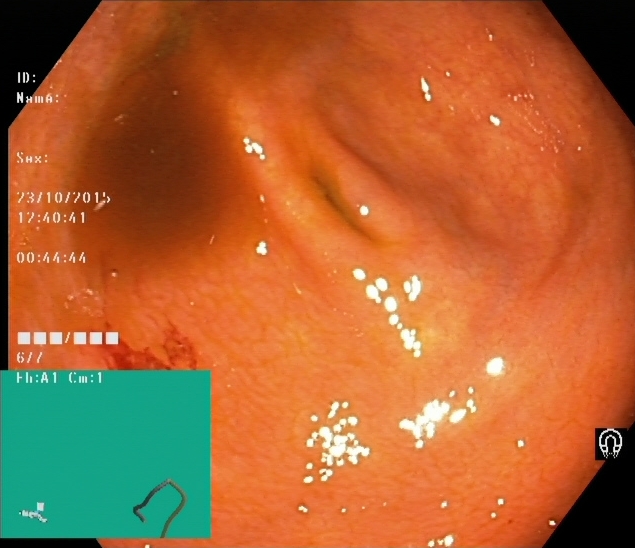This endoscopy frame shows cecum.